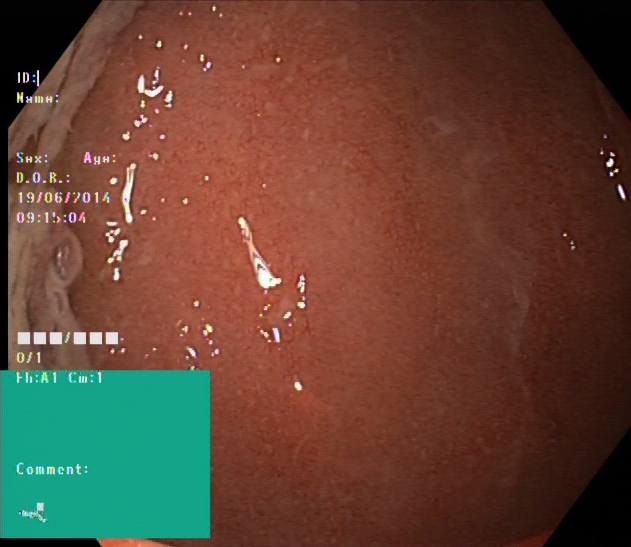{"modality": "lower-GI endoscopy", "tract": "lower GI tract", "finding": "UC, Mayo endoscopic subscore 2"}